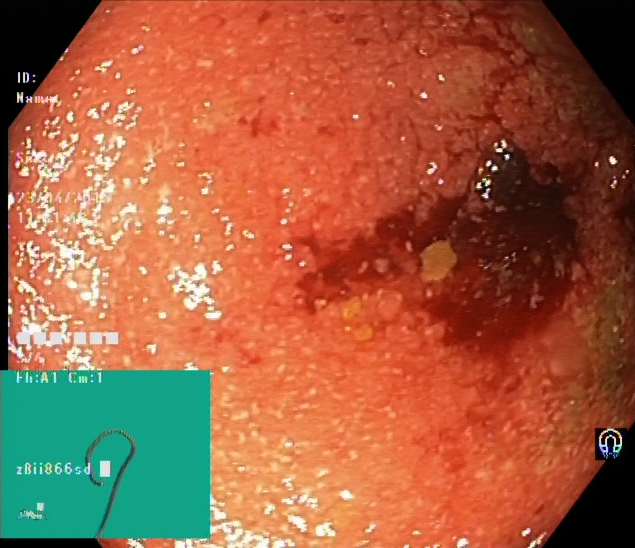modality: colonoscopy
tract: lower GI tract
finding: ulcerative colitis, Mayo endoscopic subscore 2